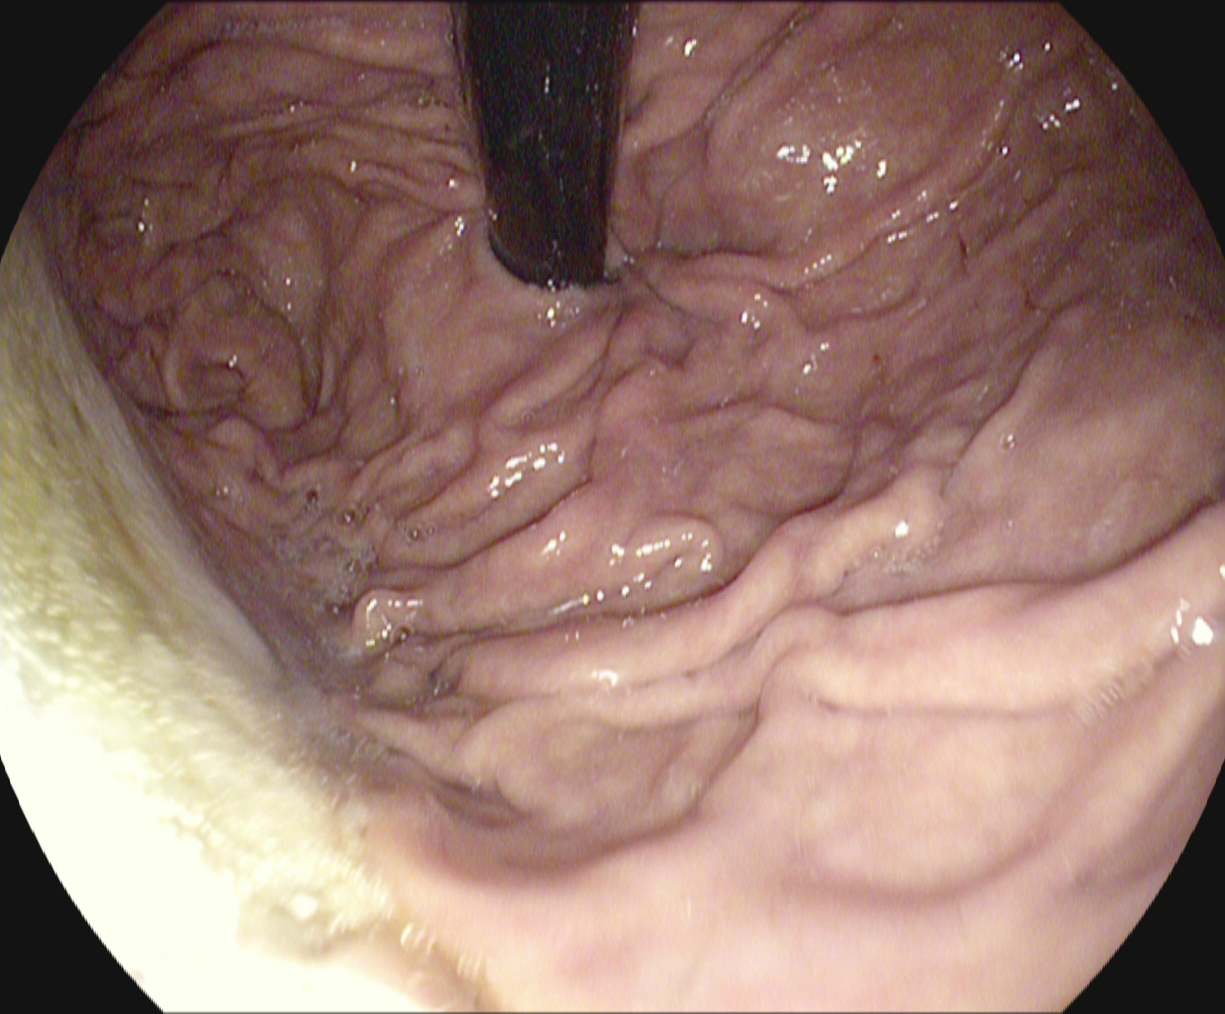{"modality": "esophagogastroduodenoscopy", "finding": "stomach in retroflexion"}